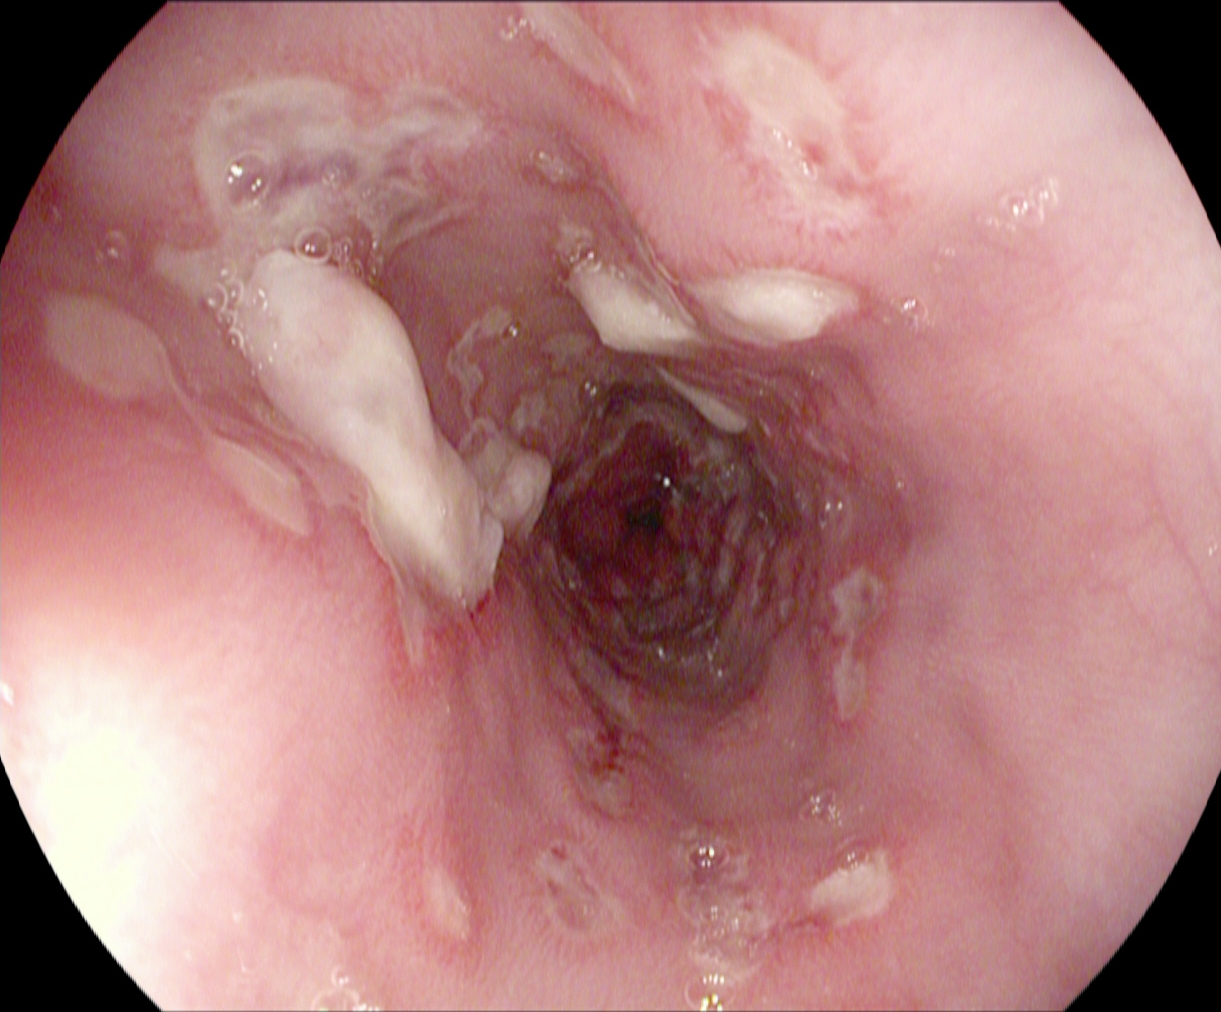modality: EGD
finding: reflux esophagitis, Los Angeles grade B–D